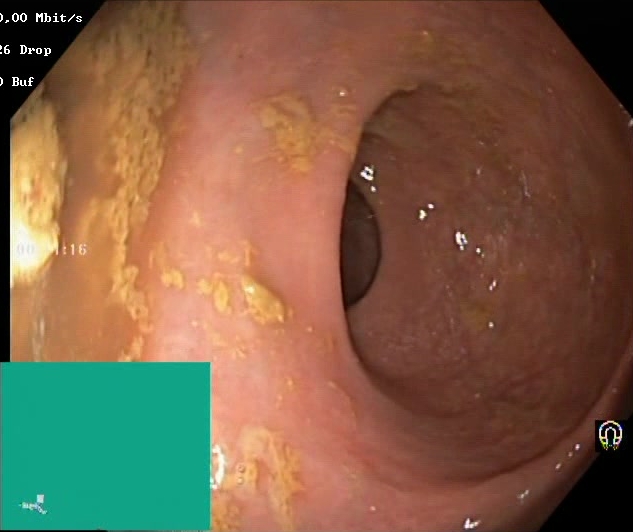PROCEDURE: Lower gastrointestinal endoscopy.
FINDINGS: Boston Bowel Preparation Scale score 0–1 (inadequate preparation).